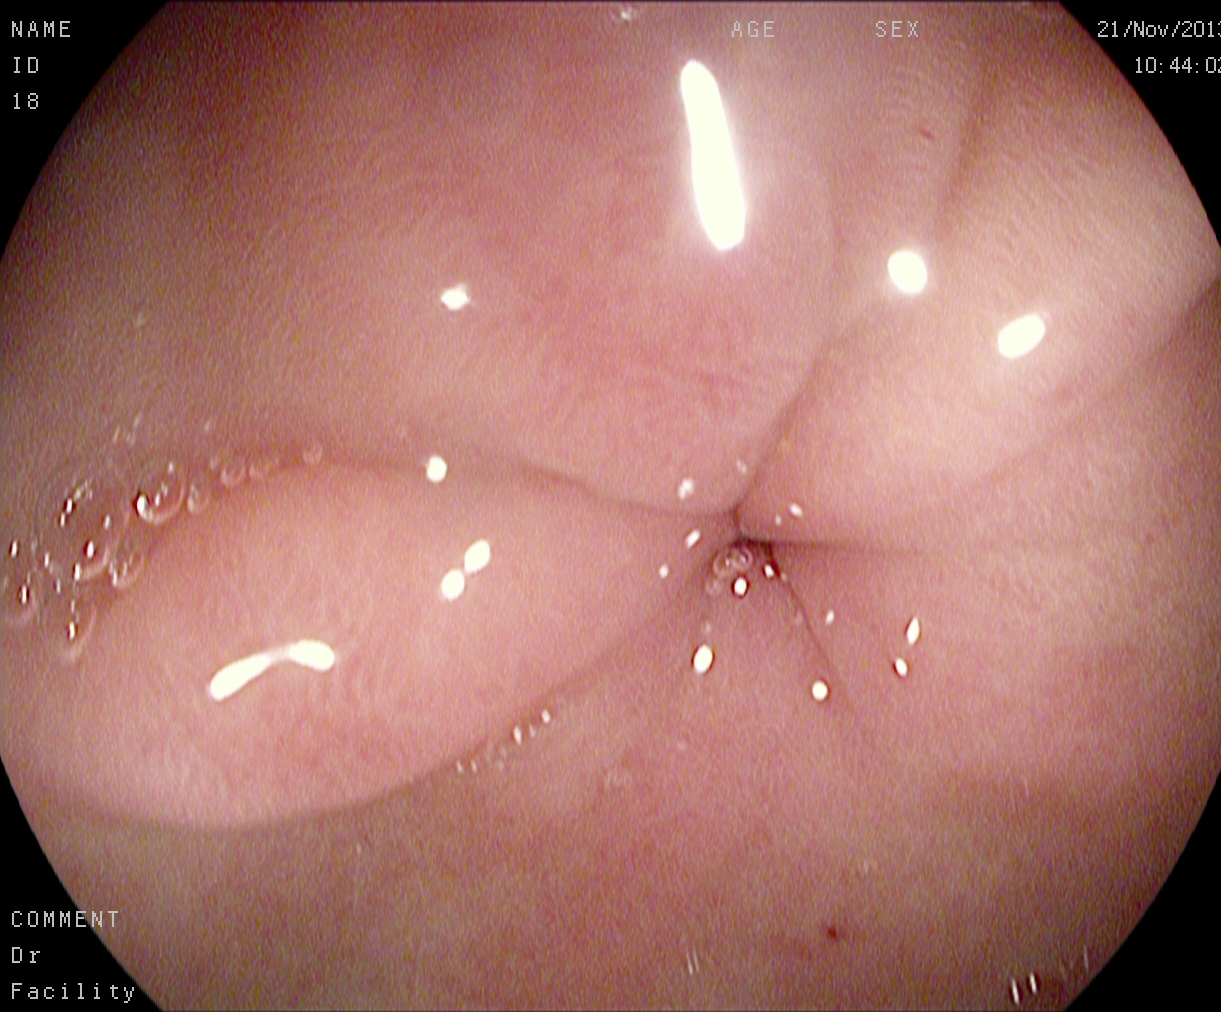{"modality": "EGD", "tract": "upper GI tract", "category": "anatomical landmark", "finding": "pylorus"}